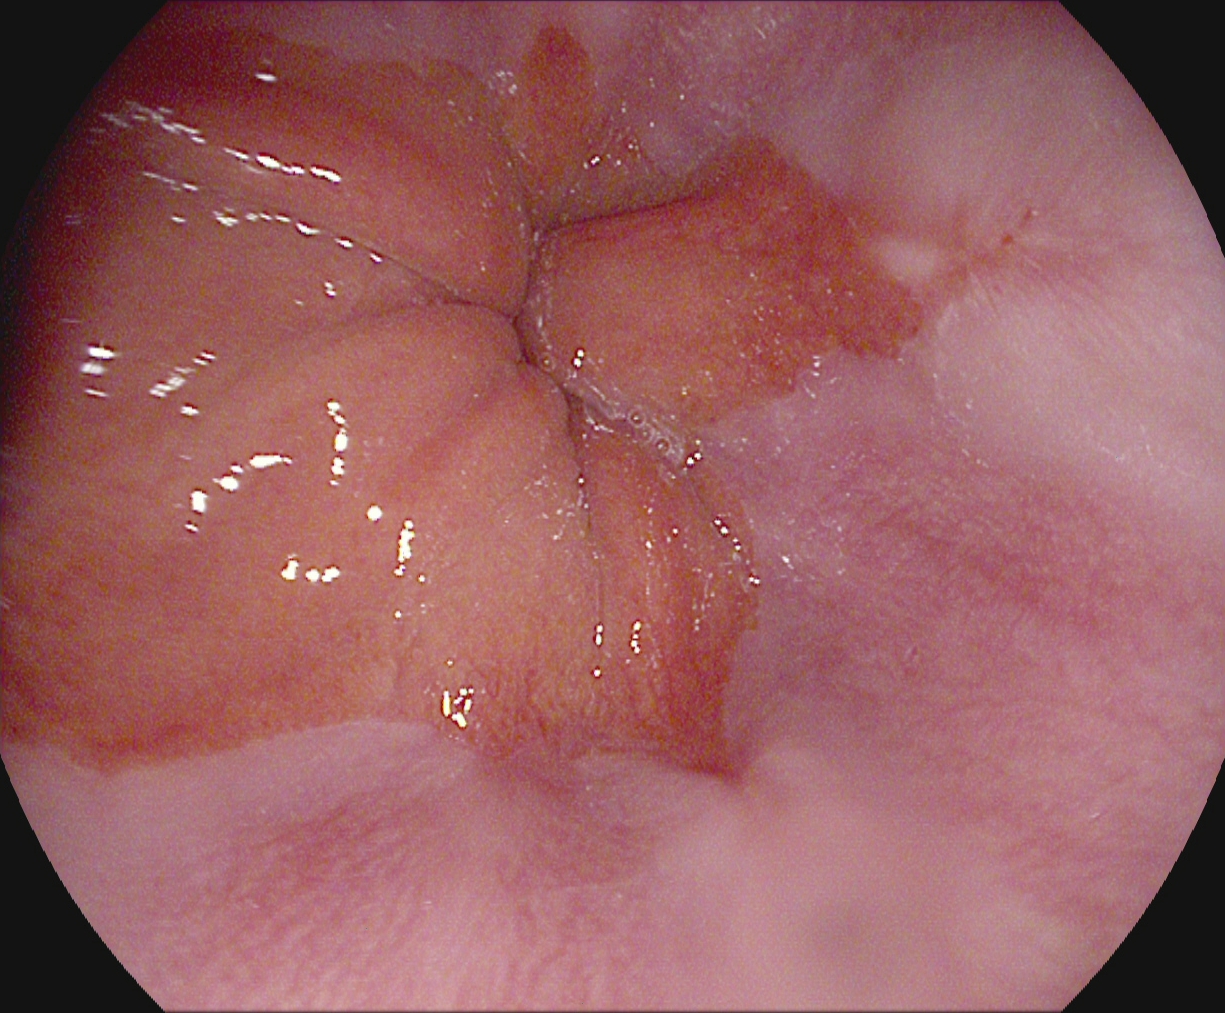Gastroscopy — reflux esophagitis, Los Angeles grade A.